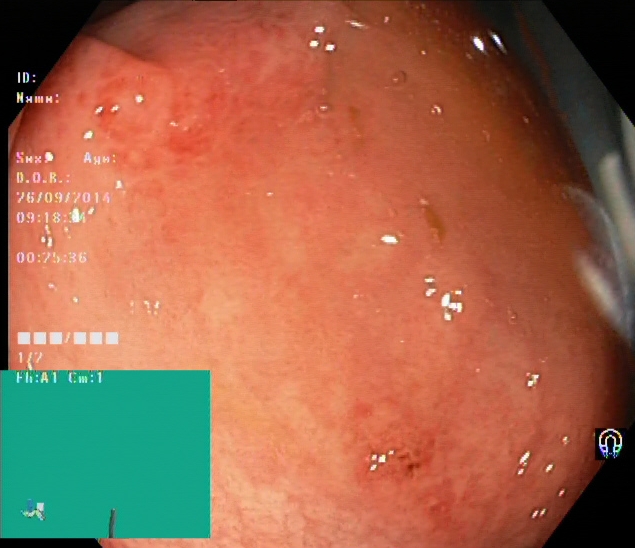{"modality": "colonoscopy", "category": "pathological finding", "finding": "UC, Mayo endoscopic subscore 1"}